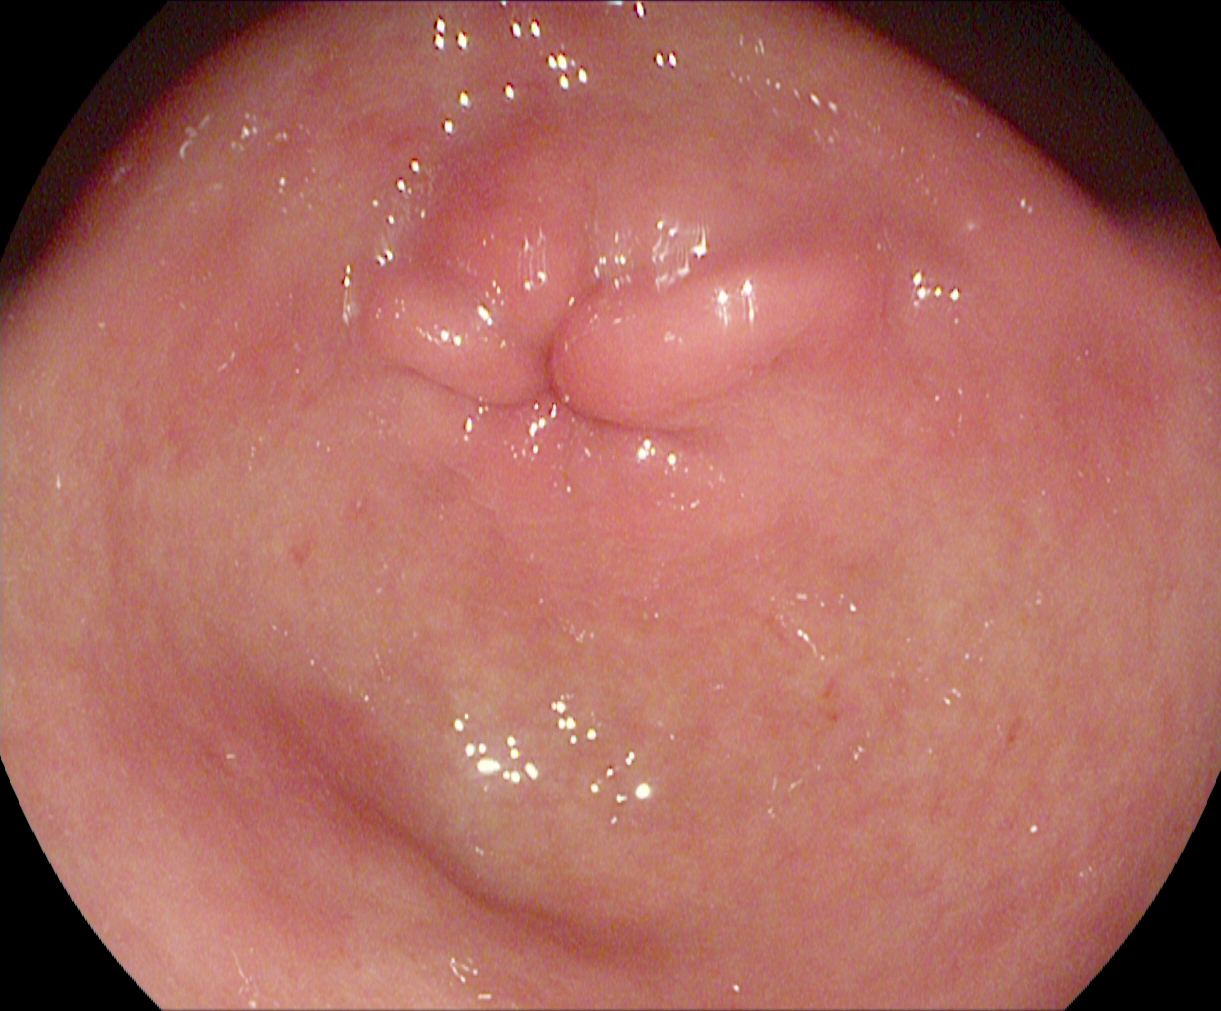This endoscopic image of the upper GI tract shows pylorus.